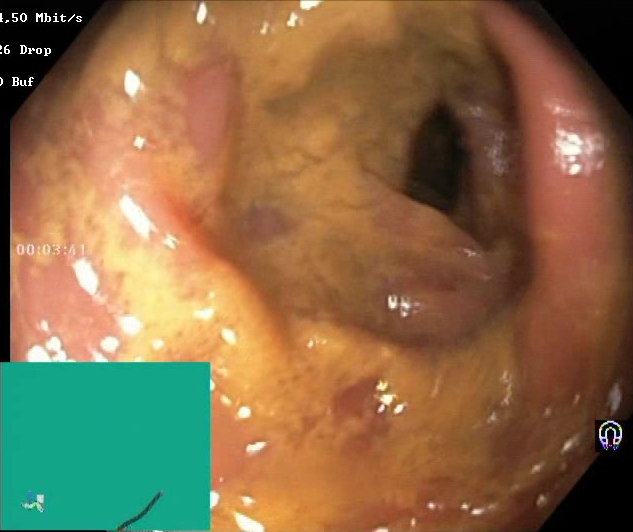Boston Bowel Preparation Scale score 0–1 (inadequate preparation).